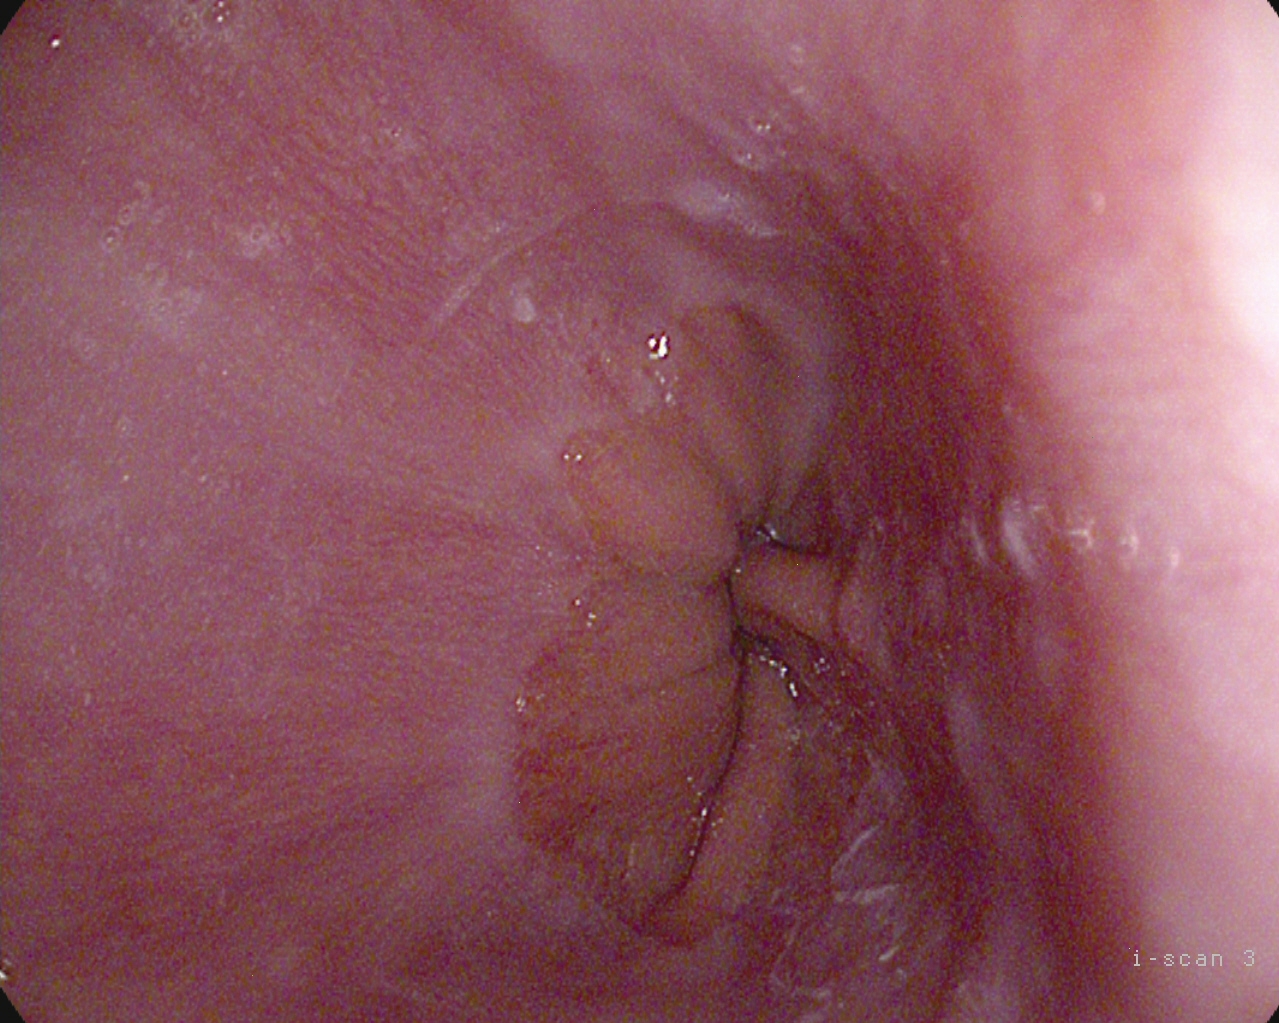This endoscopic image of the upper GI tract shows Z-line (gastroesophageal junction).